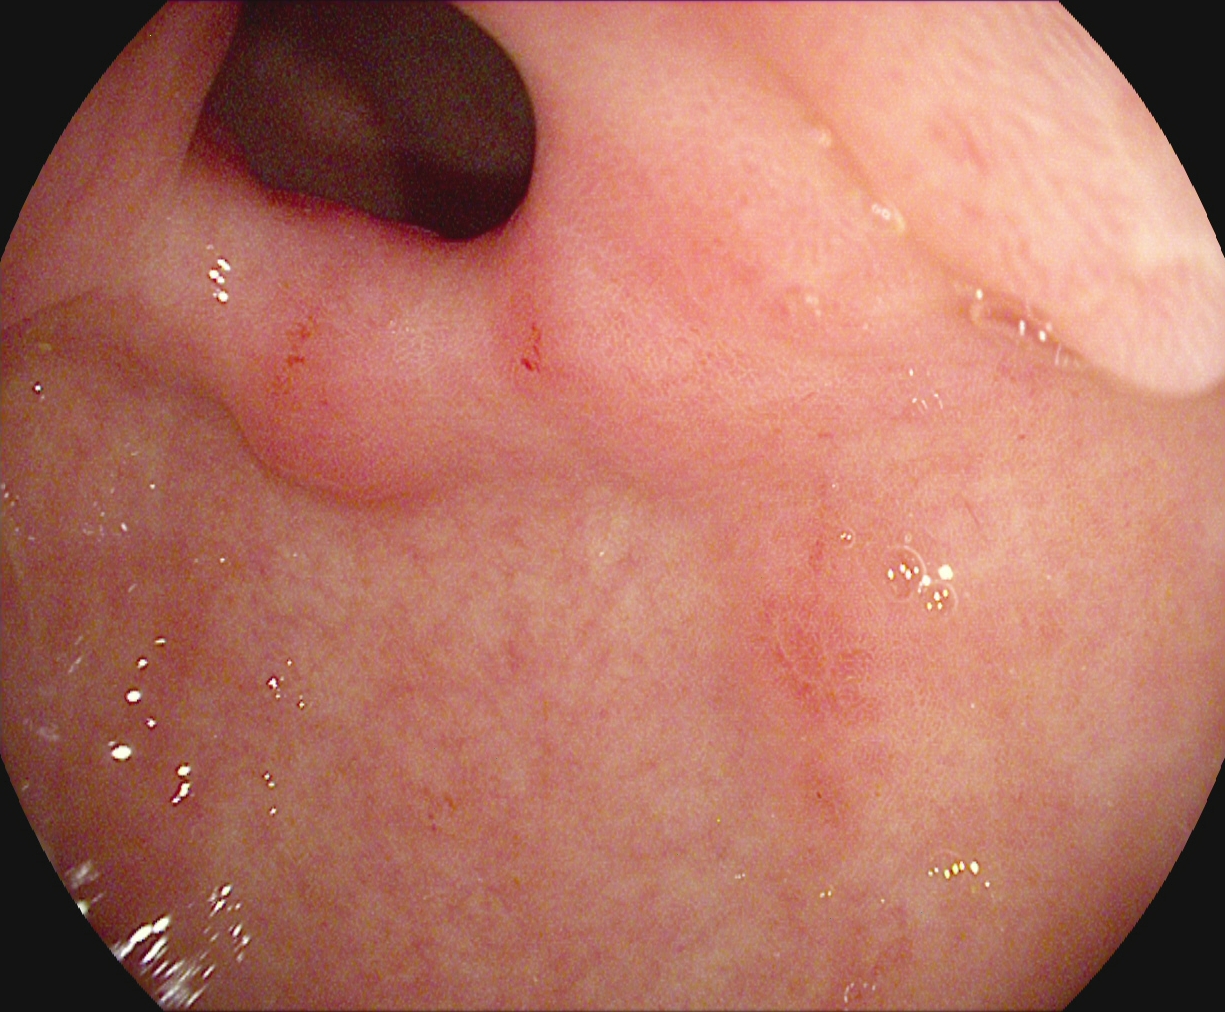{"modality": "gastroscopy", "category": "anatomical landmark", "finding": "pylorus"}